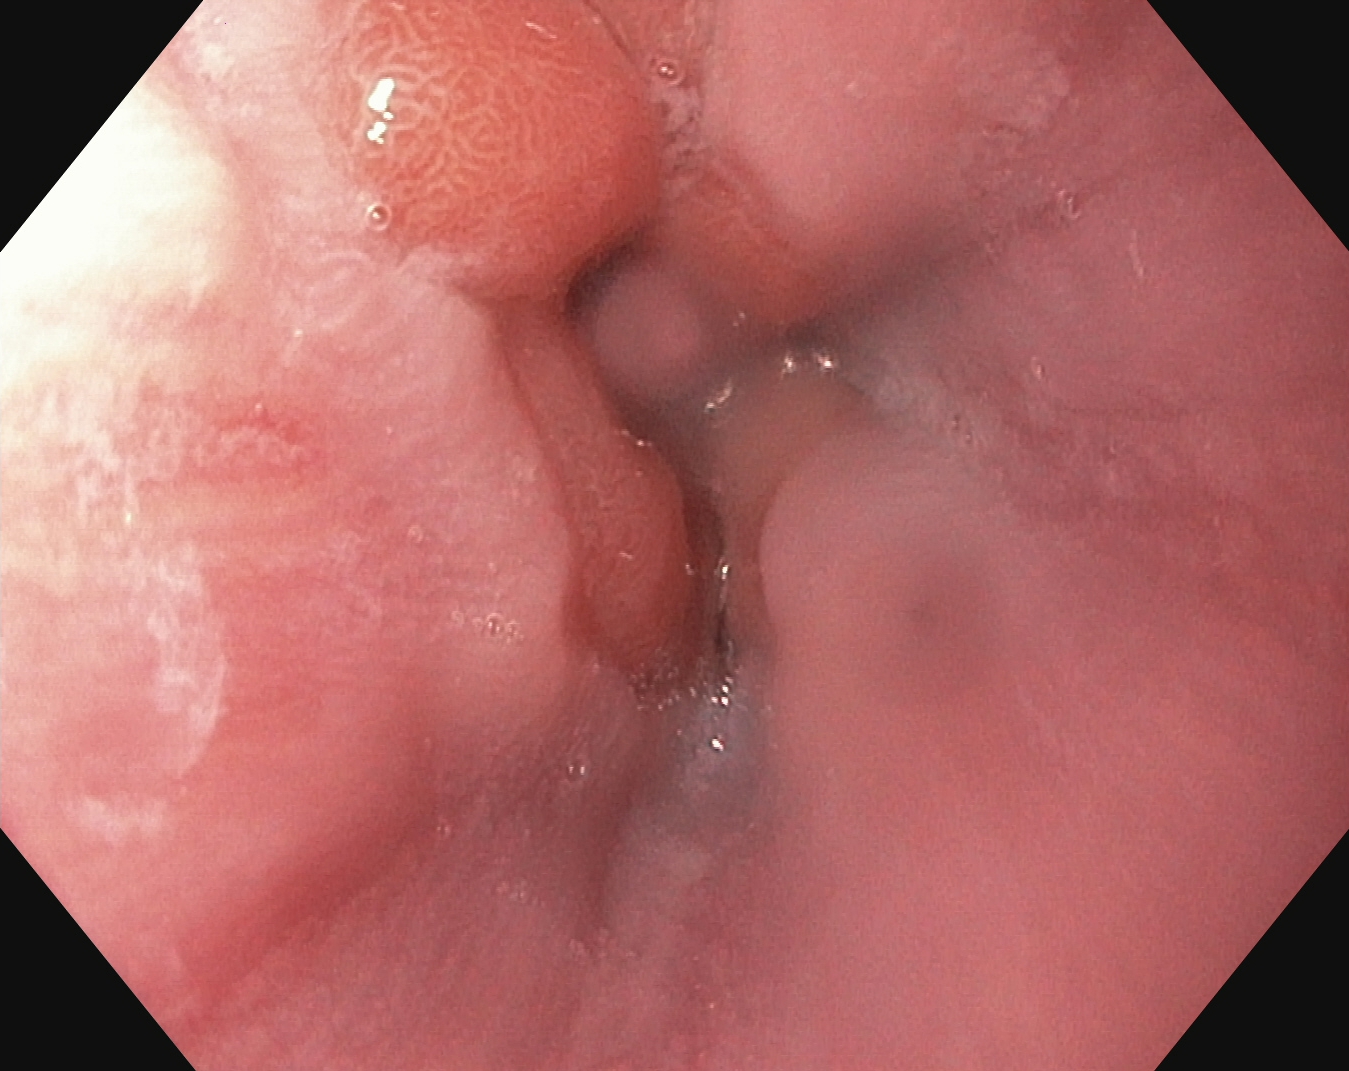modality: gastroscopy; category: anatomical landmark; finding: Z-line (gastroesophageal junction)